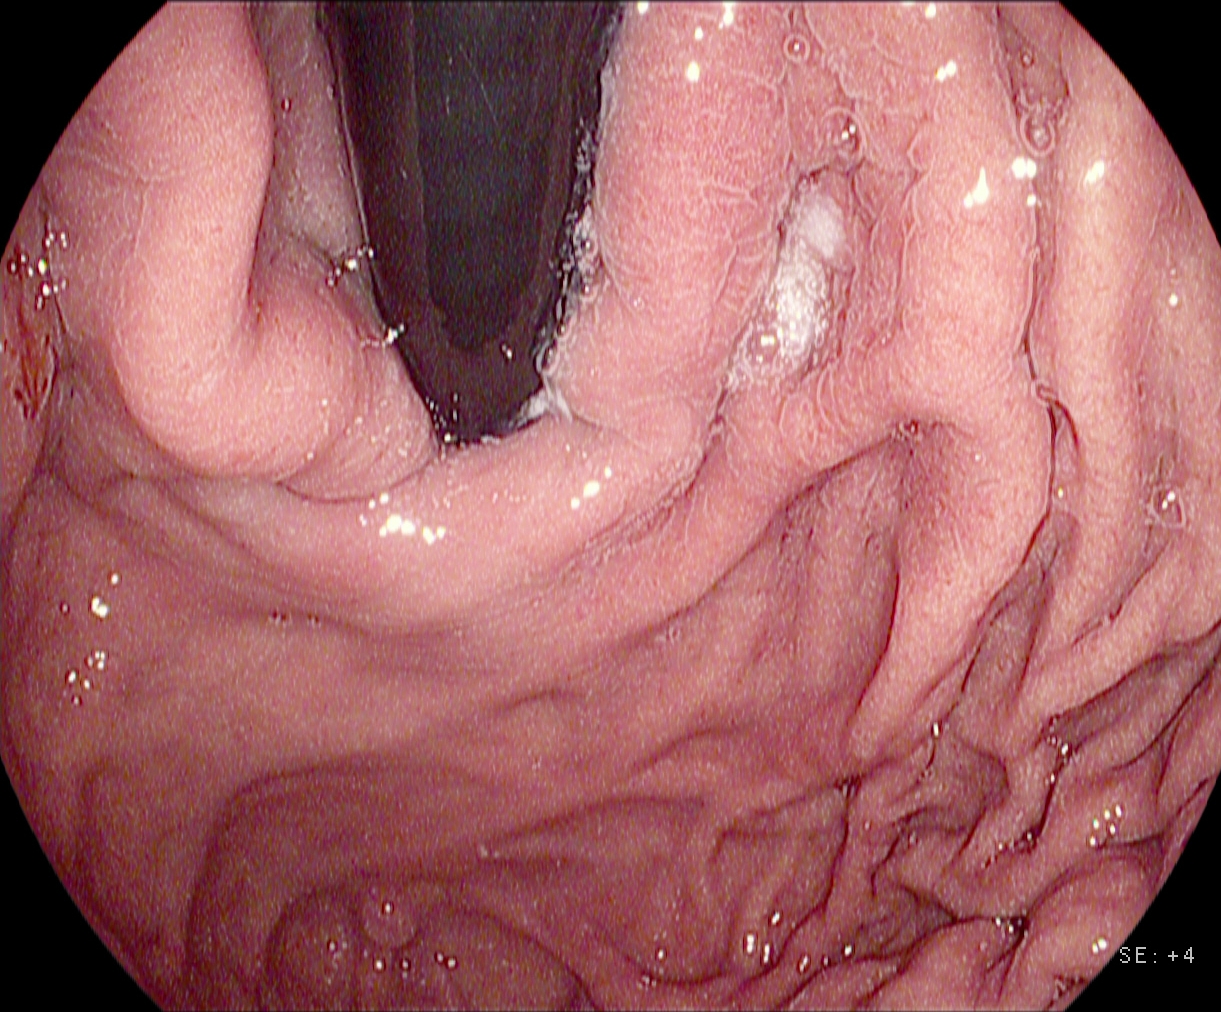This endoscopy frame of the upper GI tract shows stomach in retroflexion.